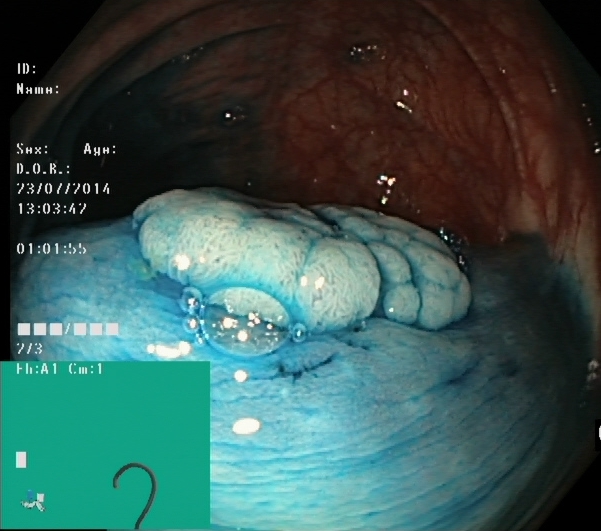Lower gastrointestinal endoscopy. Tract: lower GI tract. Finding: dyed and lifted polyp (pre-resection).